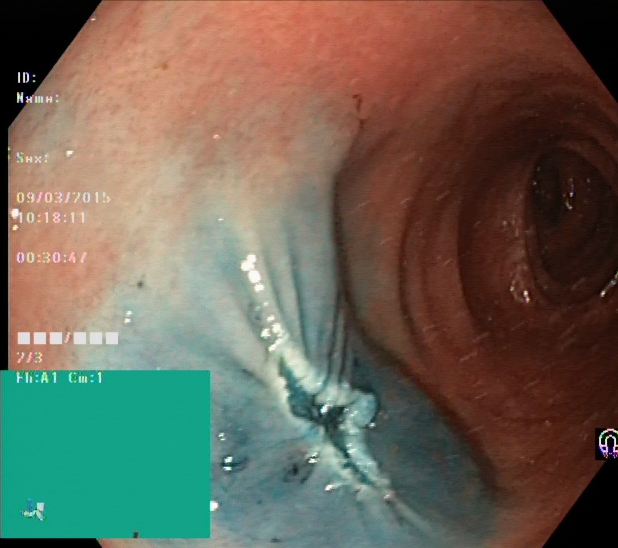PROCEDURE: Colonoscopy.
FINDINGS: Dyed resection margins (post-polypectomy).